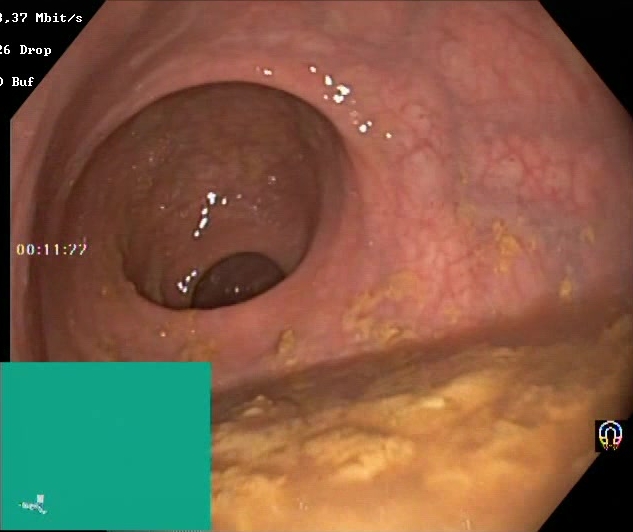{"modality": "lower-GI endoscopy", "tract": "lower GI tract", "finding": "Boston Bowel Preparation Scale score 0\u20131 (inadequate preparation)"}